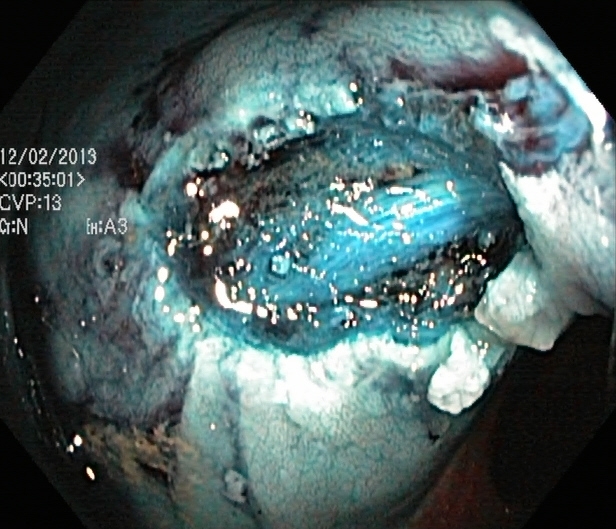This endoscopic image shows dyed resection margins (post-polypectomy).